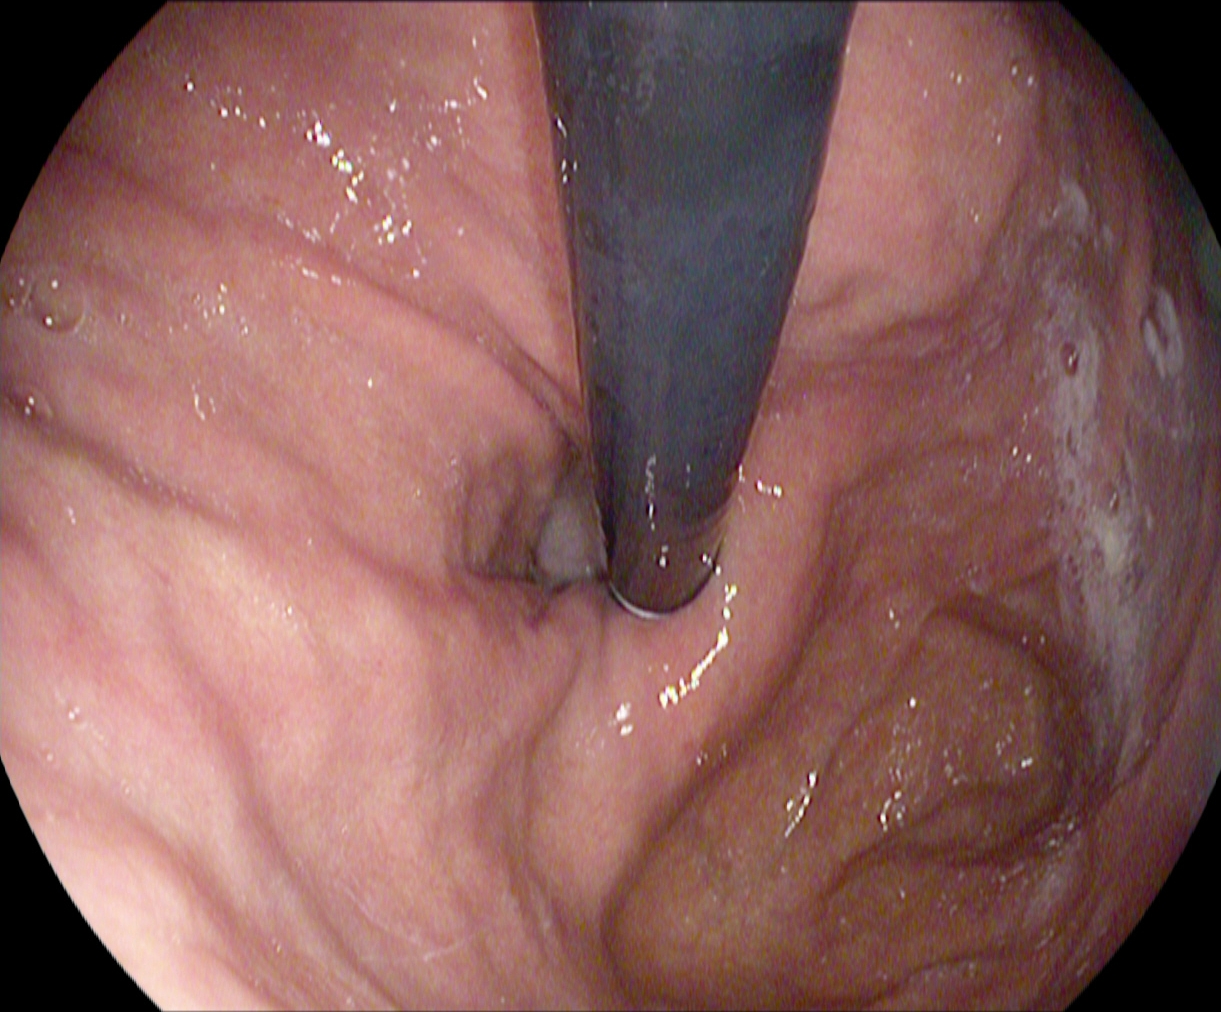This endoscopic image of the upper GI tract shows stomach in retroflexion.